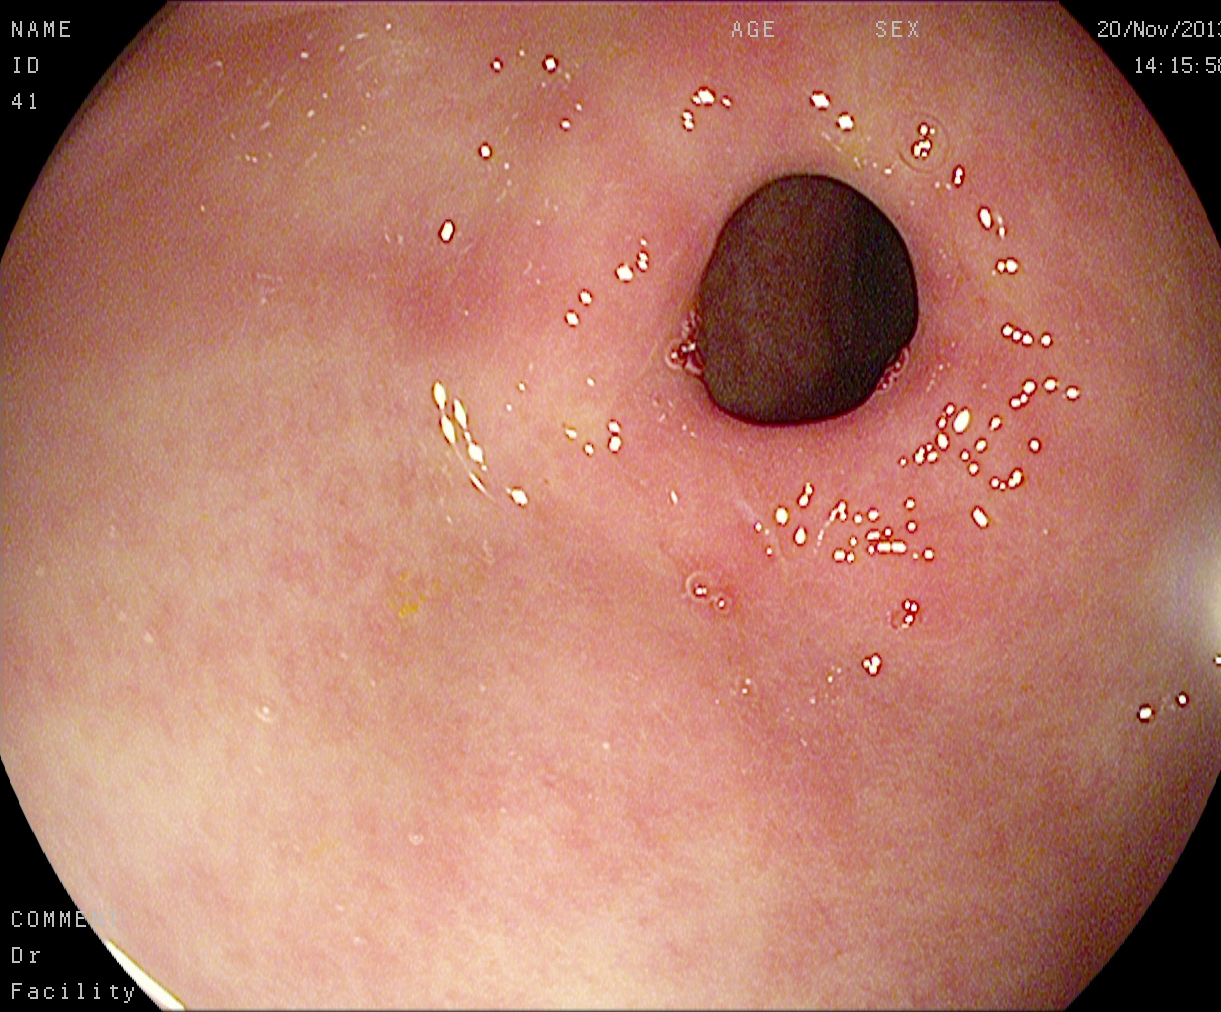Pylorus.